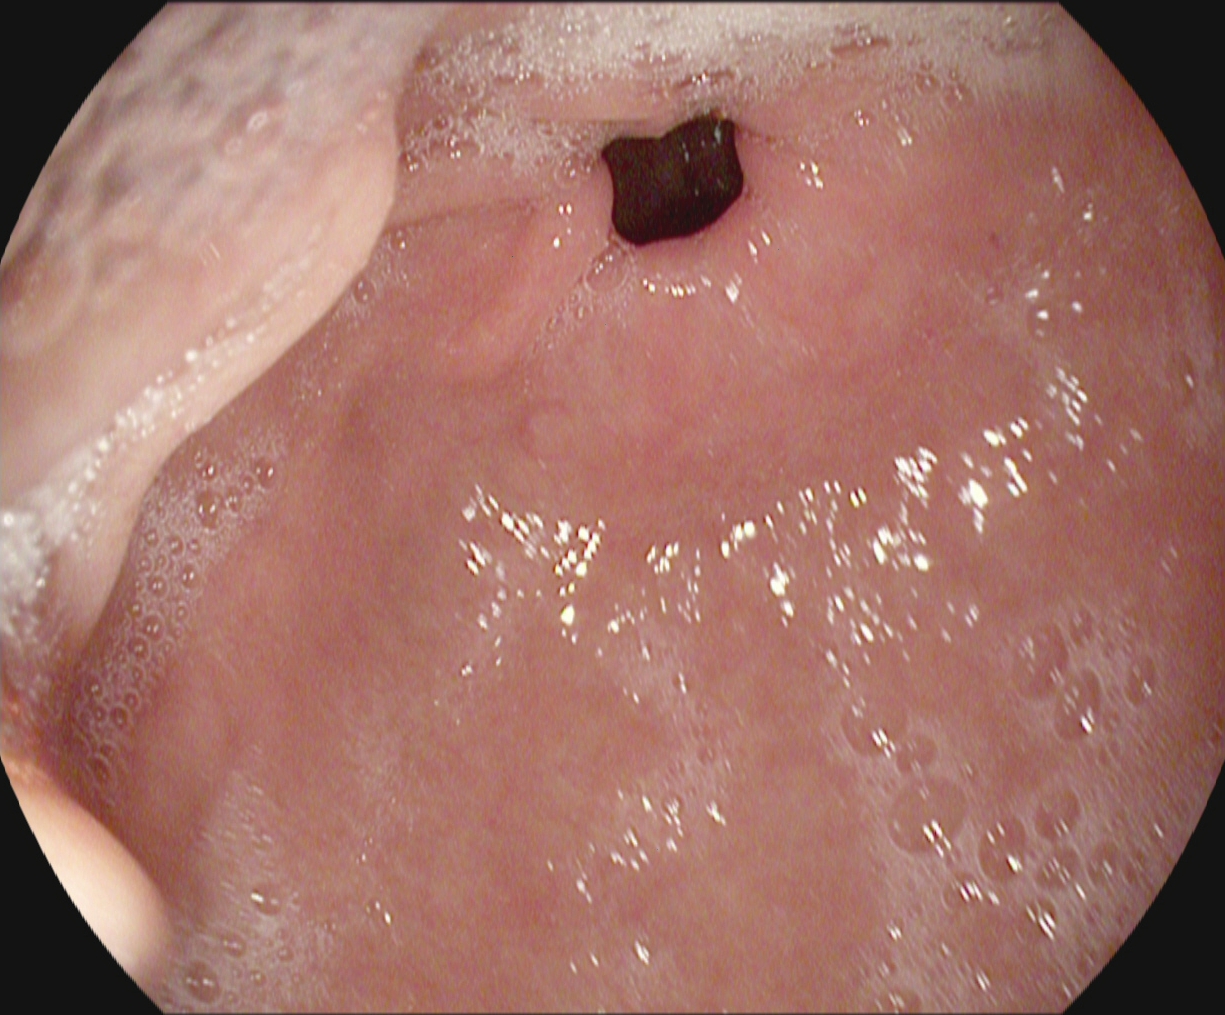EGD — pylorus.